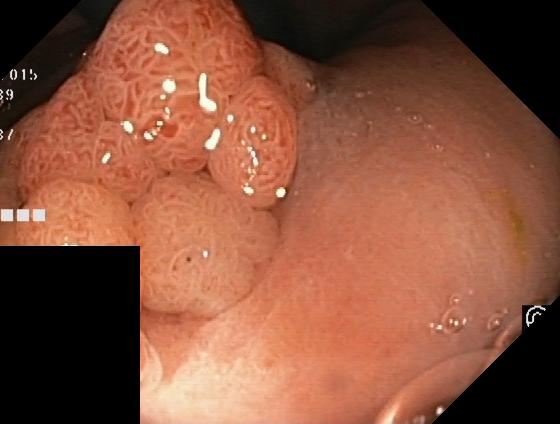This endoscopy frame of the lower GI tract shows colorectal polyp(s).